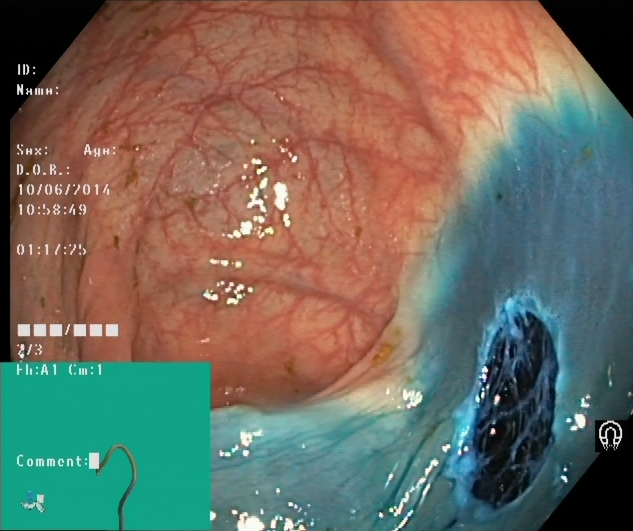Dyed resection margins (post-polypectomy).